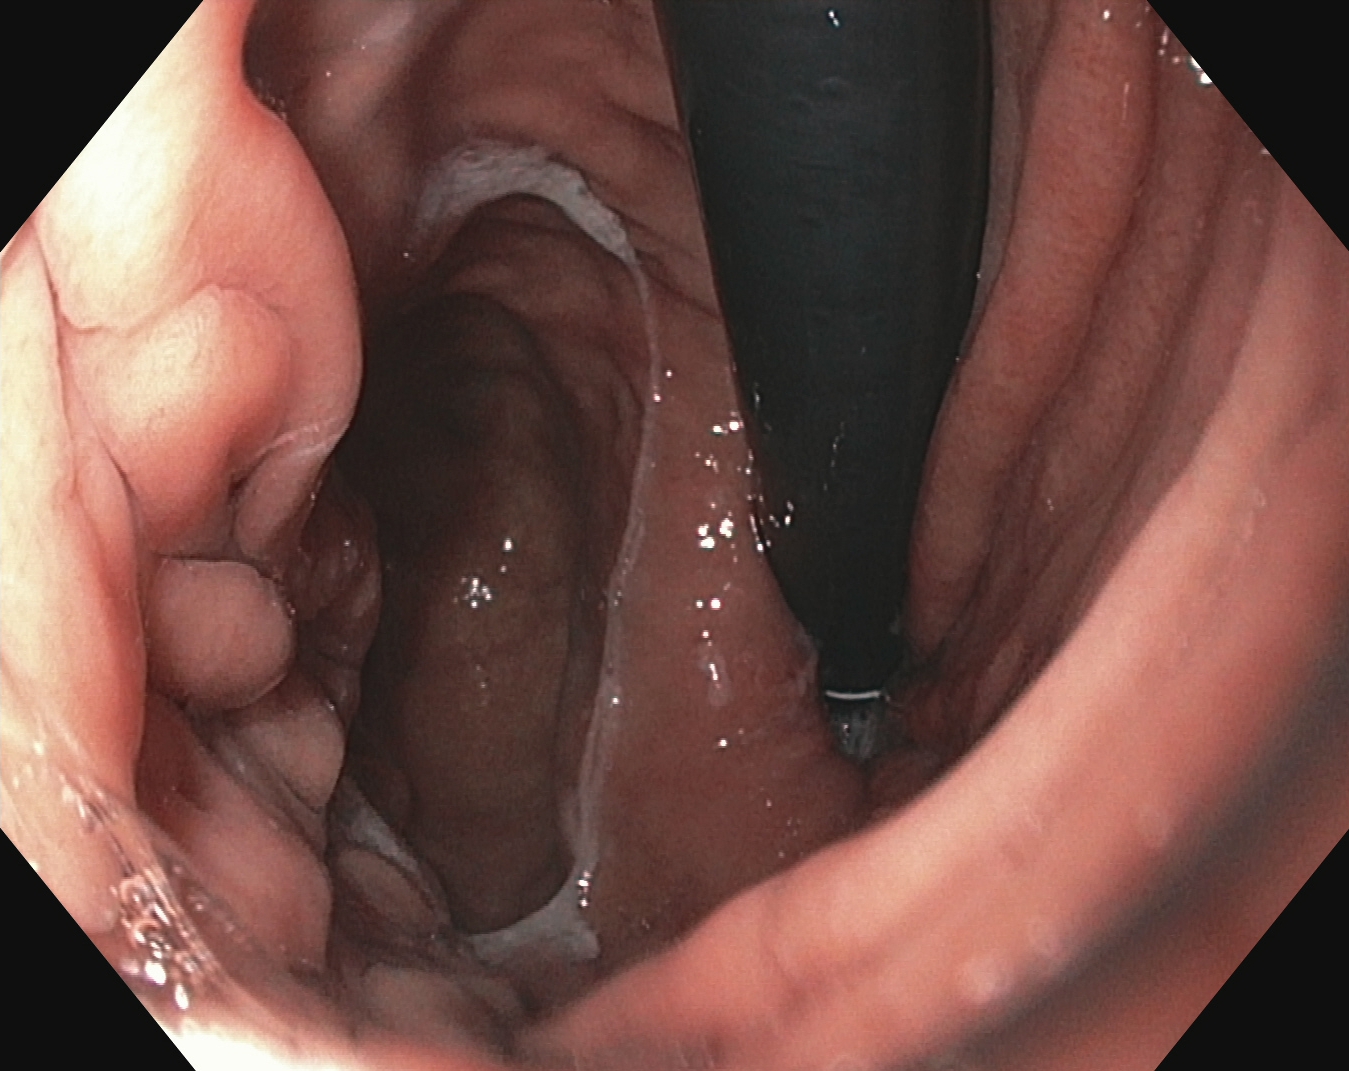{"modality": "esophagogastroduodenoscopy", "finding": "stomach in retroflexion"}